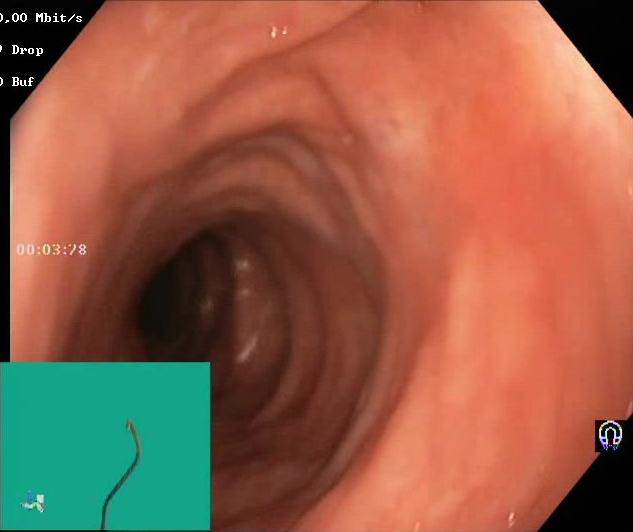Endoscopy image of the lower GI tract showing Boston Bowel Preparation Scale score 2–3 (adequate preparation).